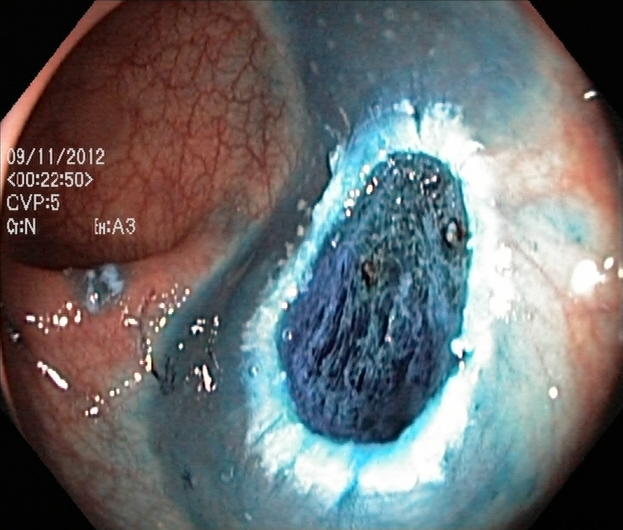{"modality": "lower gastrointestinal endoscopy", "category": "therapeutic intervention", "finding": "dyed resection margins (post-polypectomy)"}